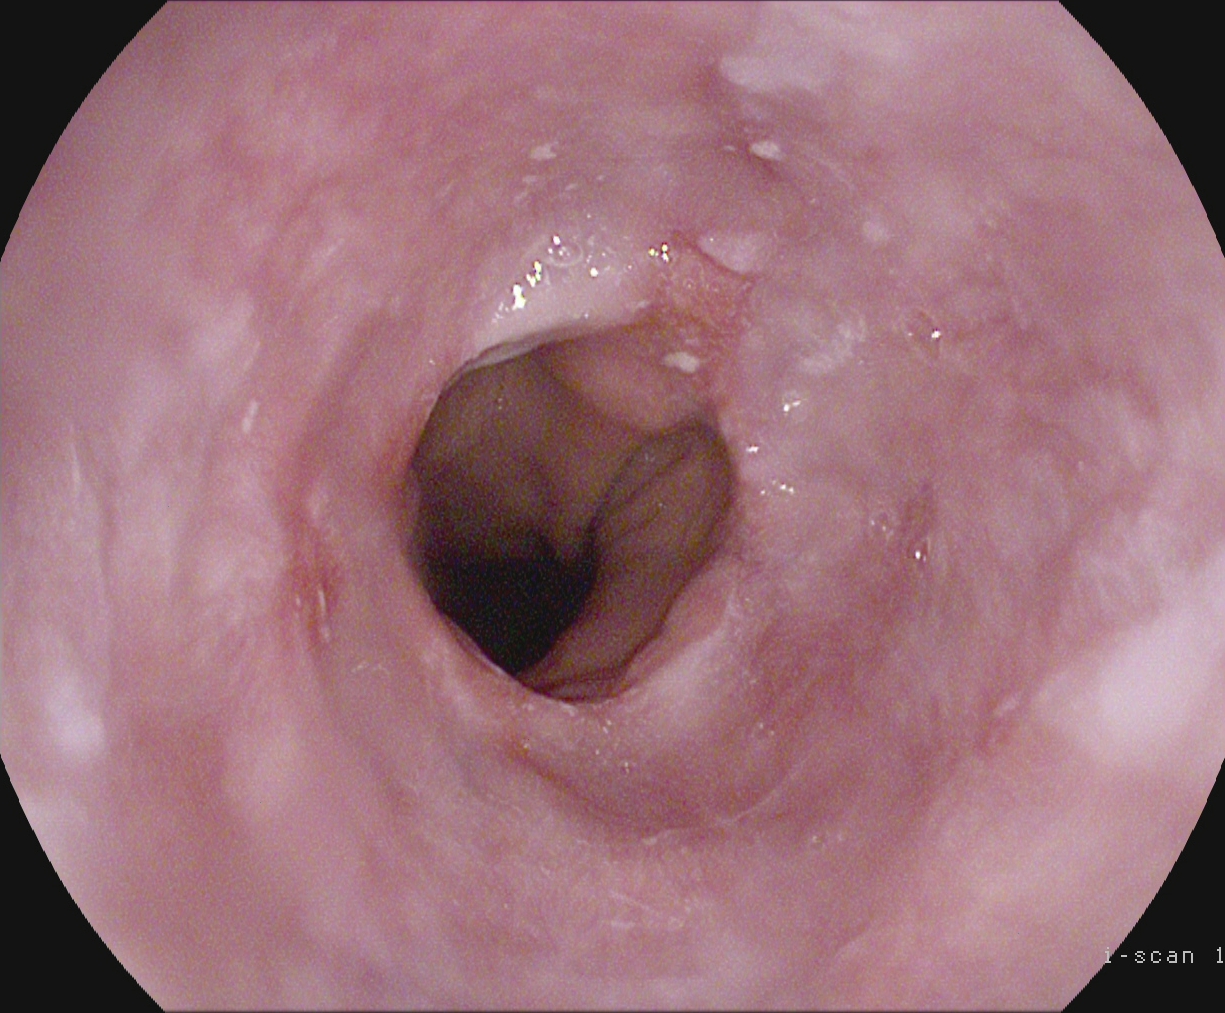{"modality": "EGD", "tract": "upper GI tract", "finding": "reflux esophagitis, Los Angeles grade A"}